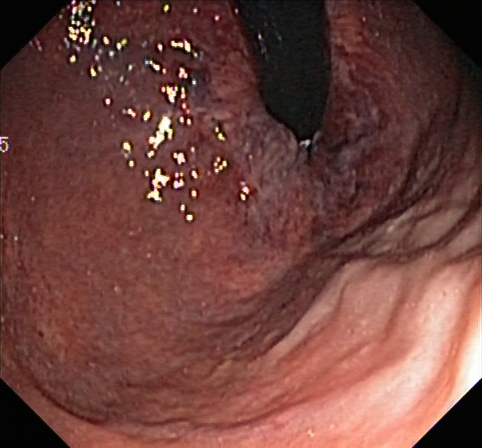{"modality": "lower gastrointestinal endoscopy", "tract": "lower GI tract", "category": "anatomical landmark", "finding": "rectum in retroflexion"}